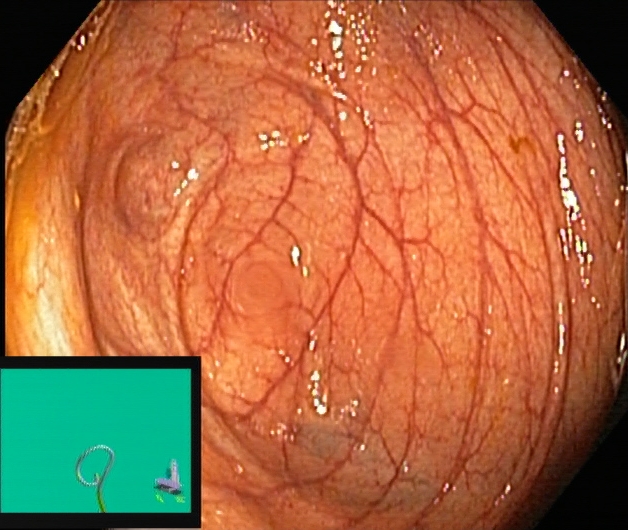This endoscopy frame of the lower GI tract shows cecum.